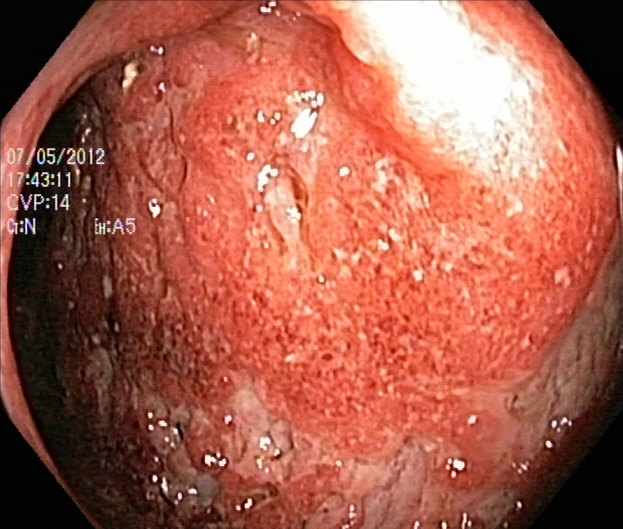UC, Mayo endoscopic subscore 2–3.